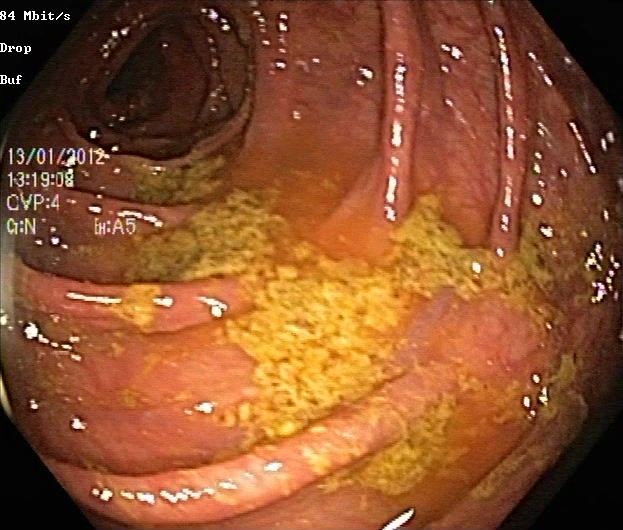Lower-GI endoscopy — ulcerative colitis, Mayo endoscopic subscore 1.